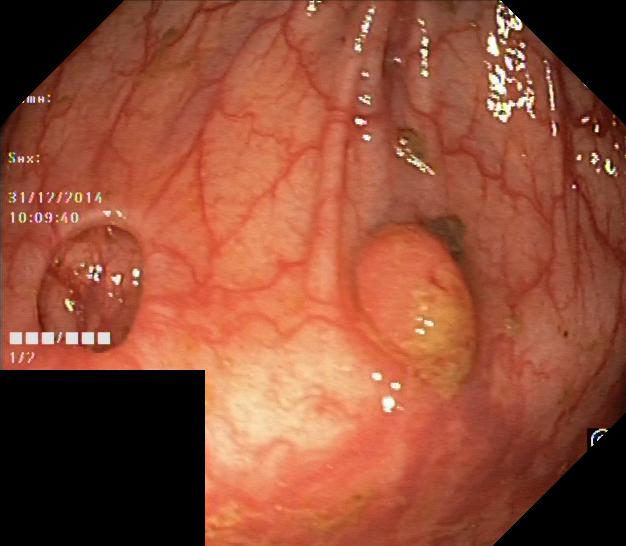This endoscopy frame shows colorectal polyp(s).